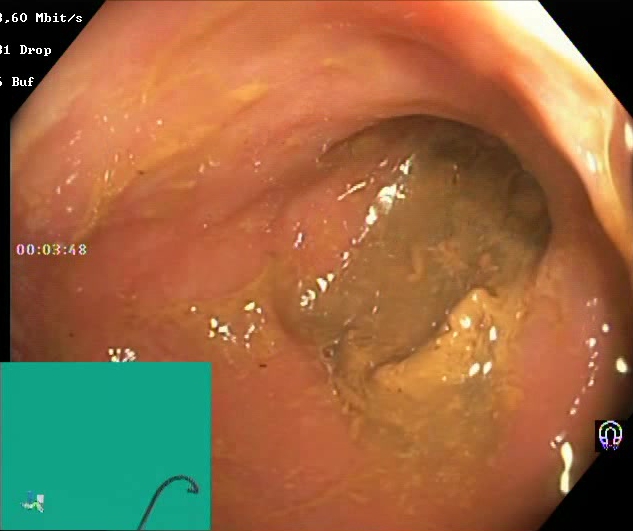Boston Bowel Preparation Scale score 0–1 (inadequate preparation).